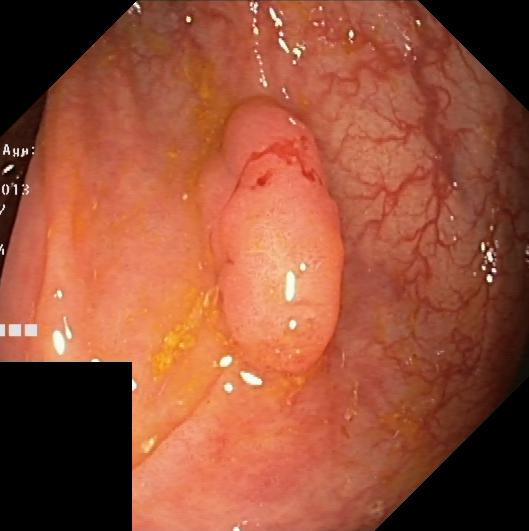PROCEDURE: Colonoscopy.
FINDINGS: Colorectal polyp(s).